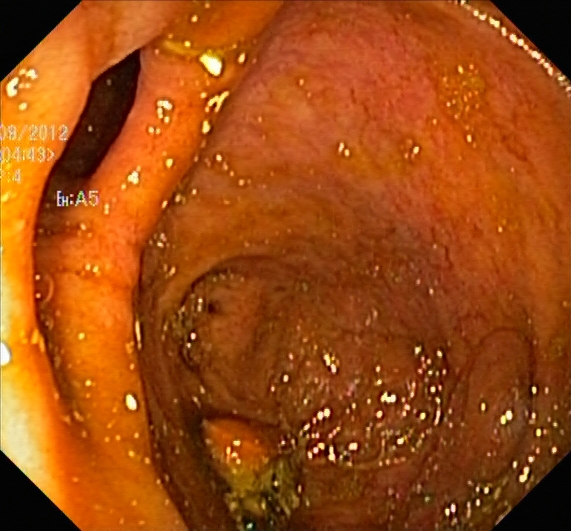Endoscopy image of the lower GI tract showing UC, Mayo endoscopic subscore 1.